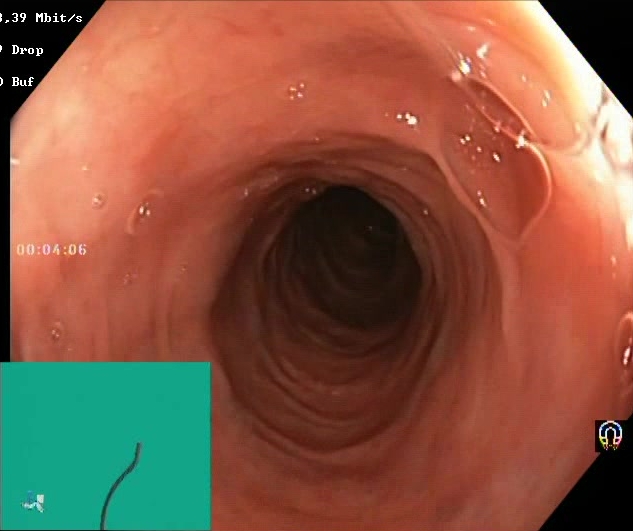Colonoscopy. Tract: lower GI tract. Mucosal-view quality. Finding: Boston Bowel Preparation Scale score 2–3 (adequate preparation).